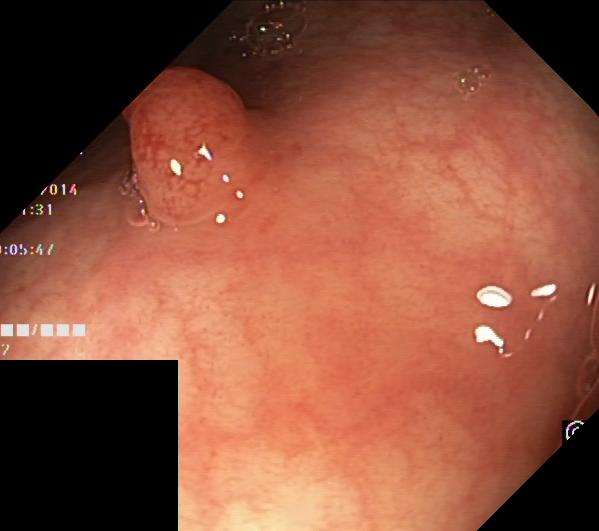Lower-GI endoscopy. Finding: colorectal polyp(s).